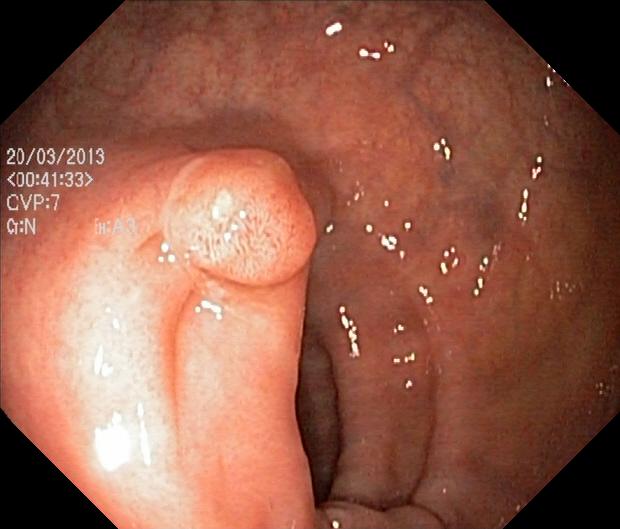Colonoscopy. Tract: lower GI tract. Pathological finding. Finding: colorectal polyp(s).